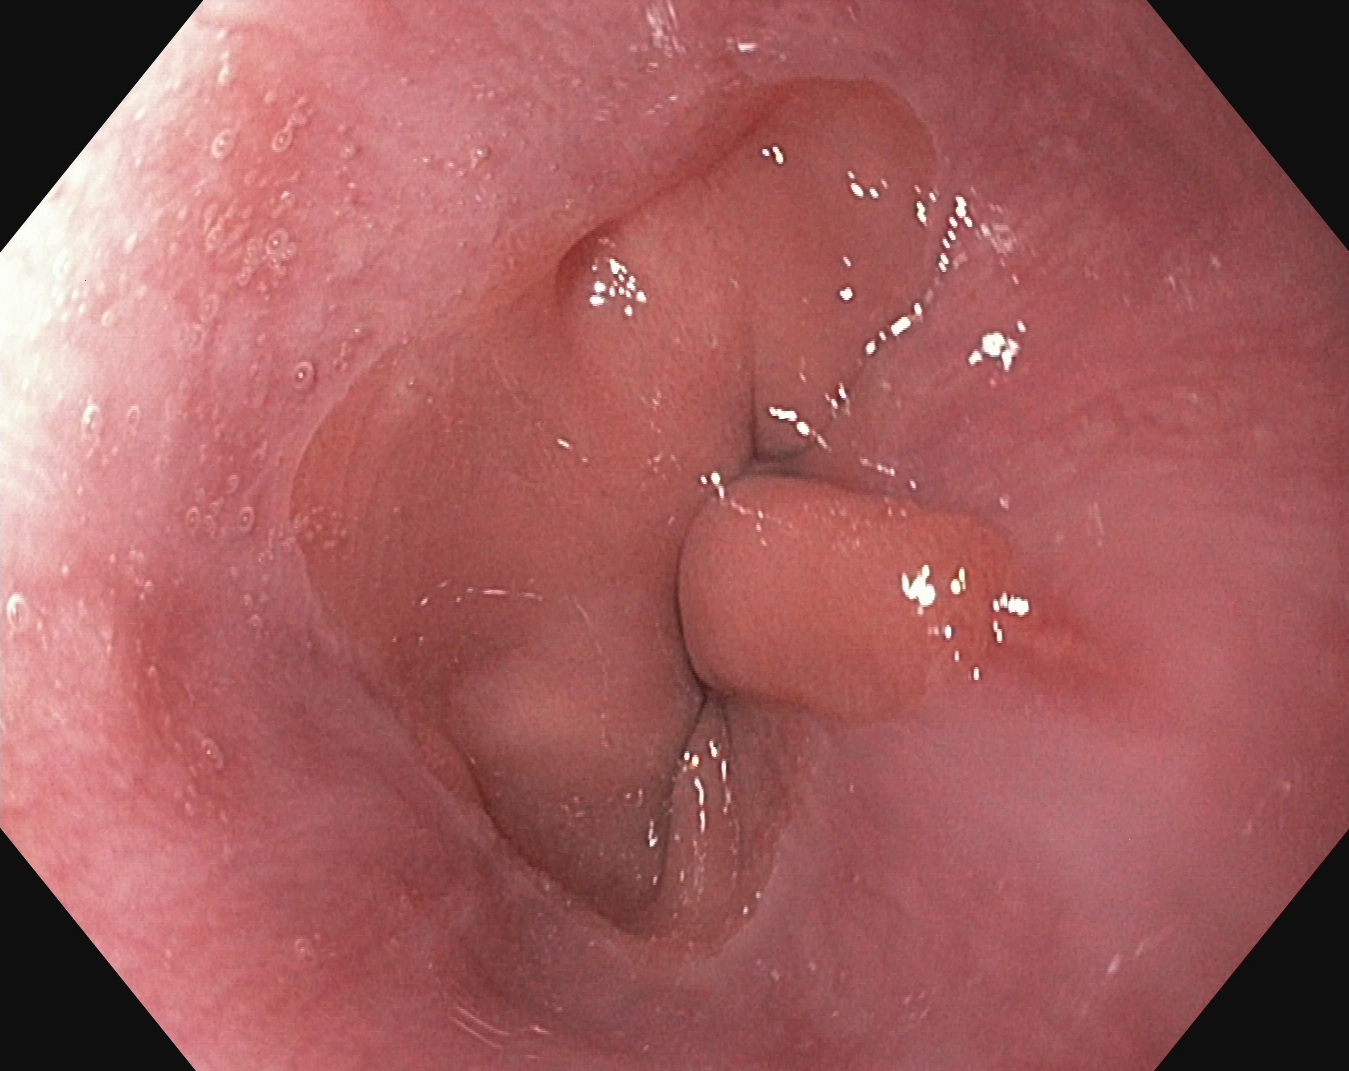This endoscopic image of the upper GI tract shows reflux esophagitis, Los Angeles grade A.